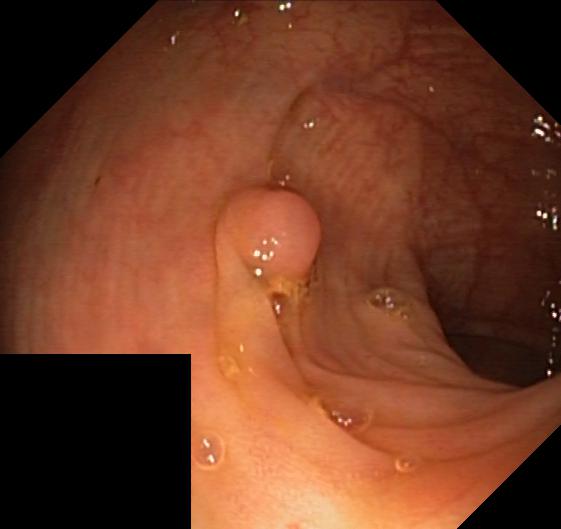Colorectal polyp(s).